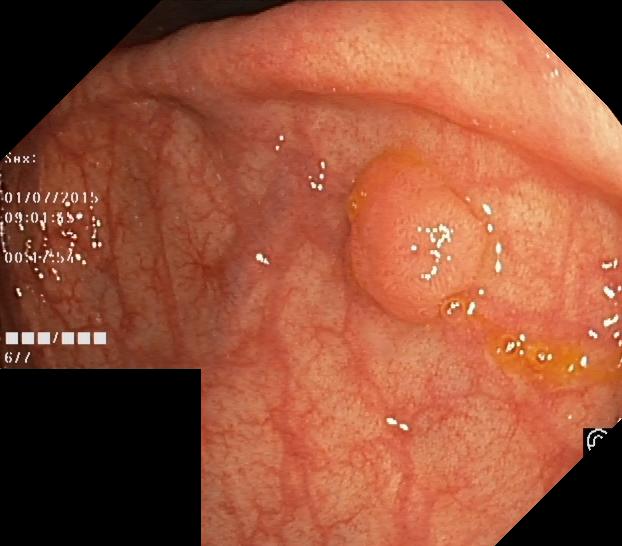This endoscopy frame of the lower GI tract shows colorectal polyp(s).